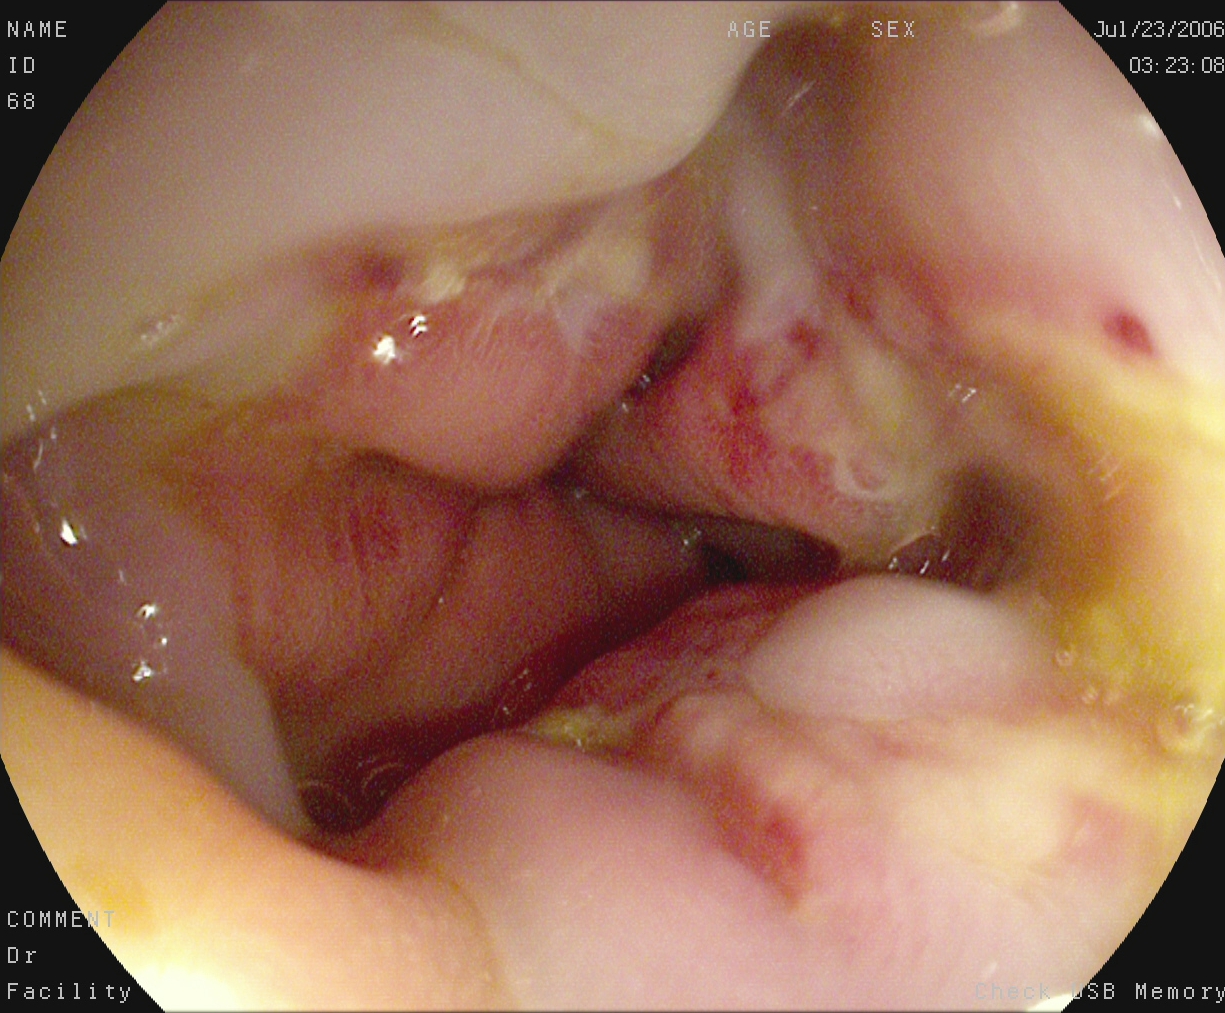EGD — reflux esophagitis, LA grade A.